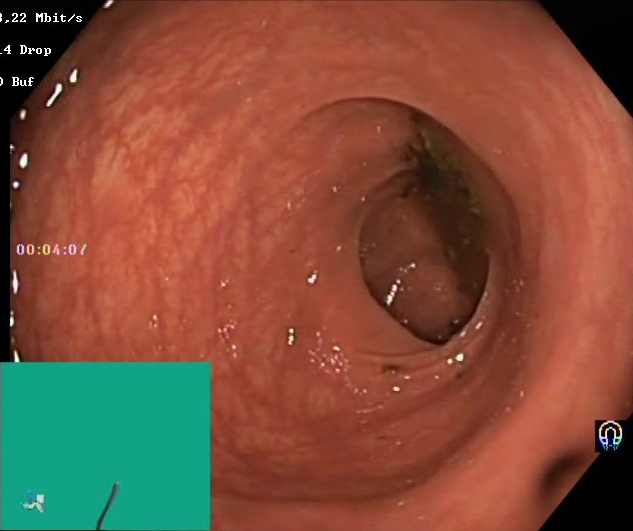Boston Bowel Preparation Scale score 0–1 (inadequate preparation).